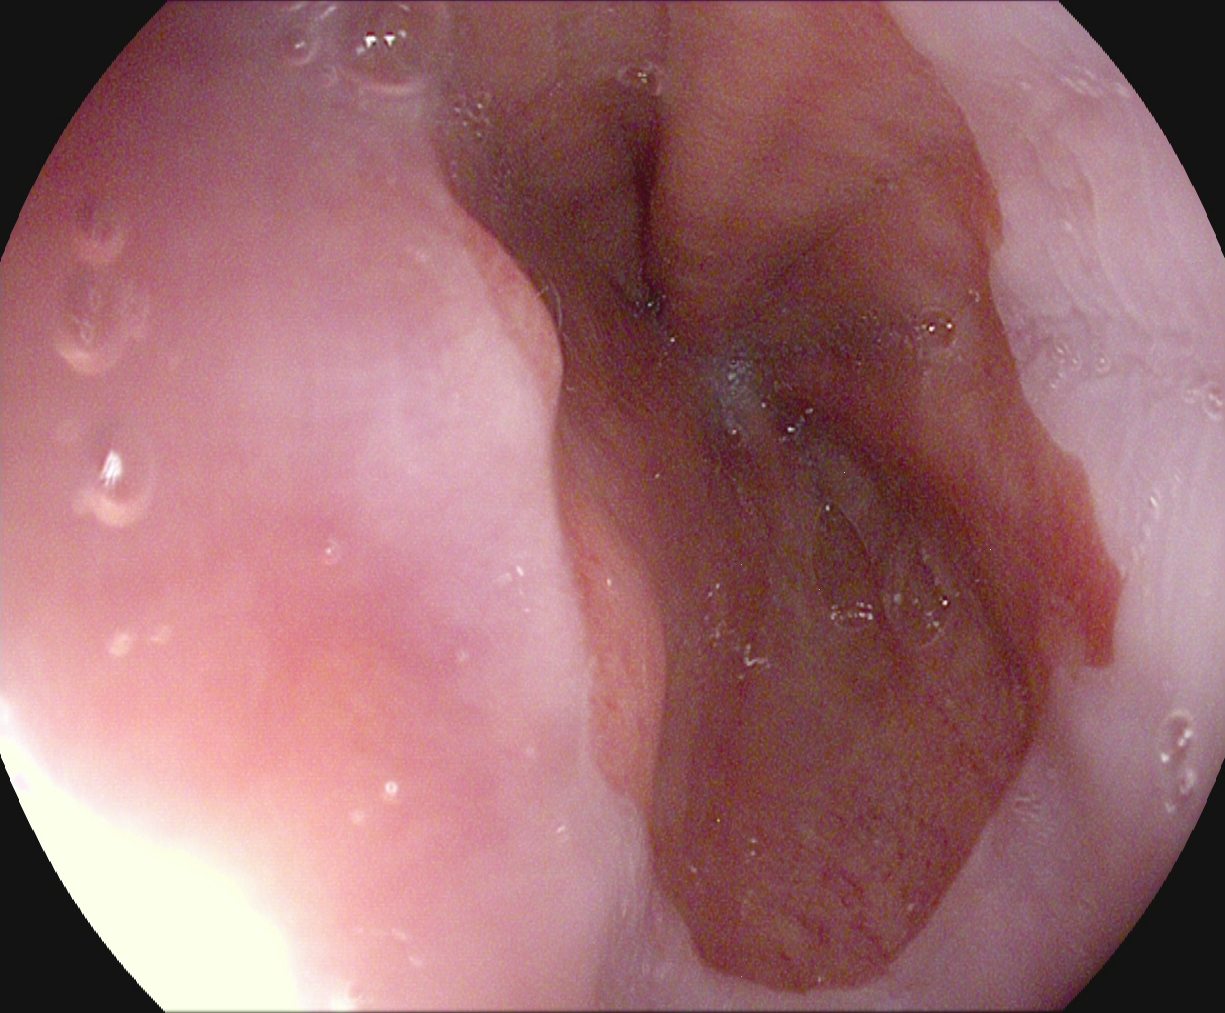Reflux esophagitis, LA grade A.